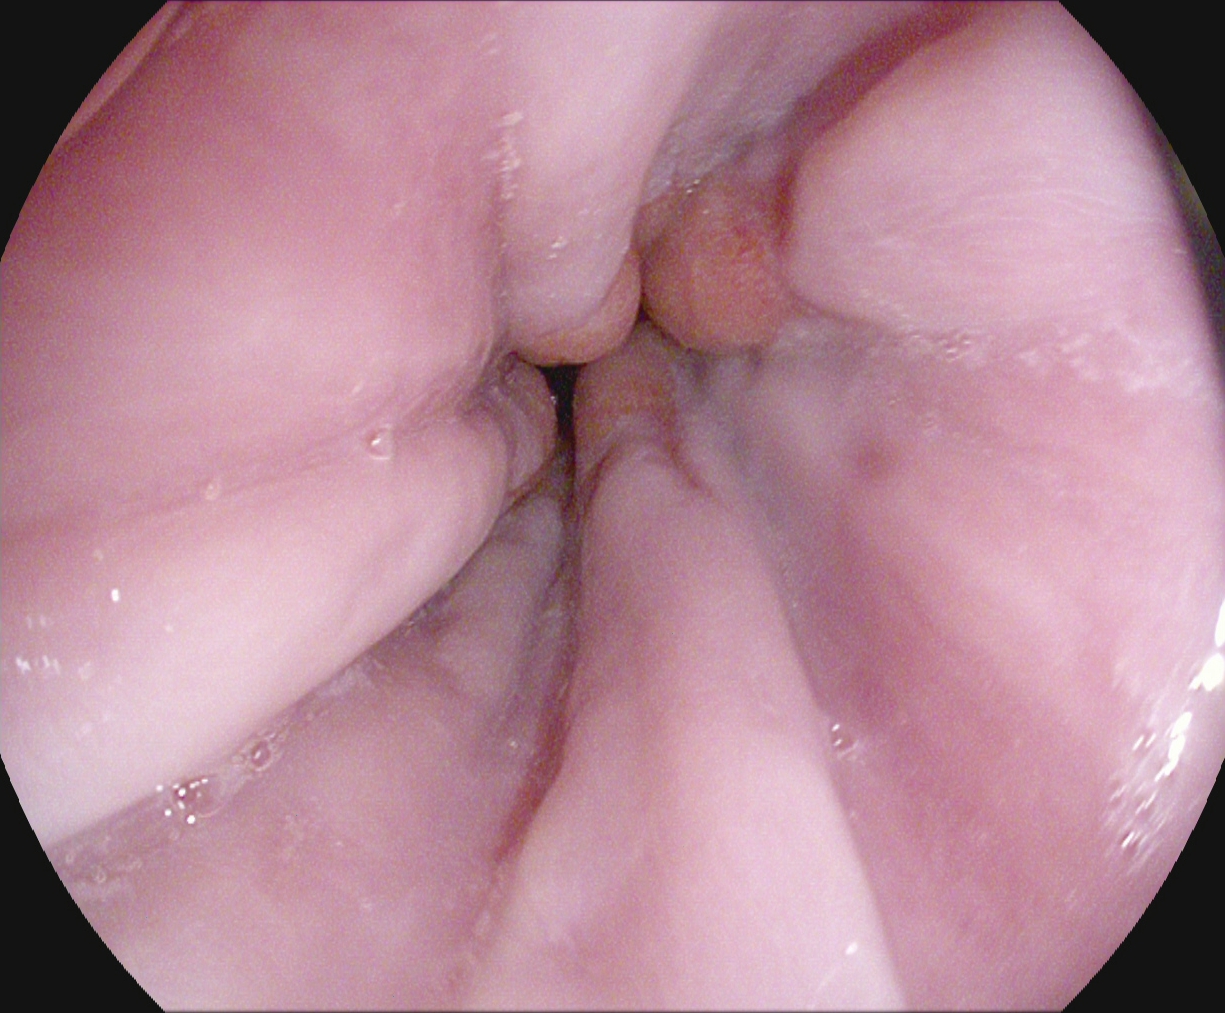Esophagogastroduodenoscopy. Tract: upper GI tract. Anatomical landmark. Finding: Z-line (gastroesophageal junction).